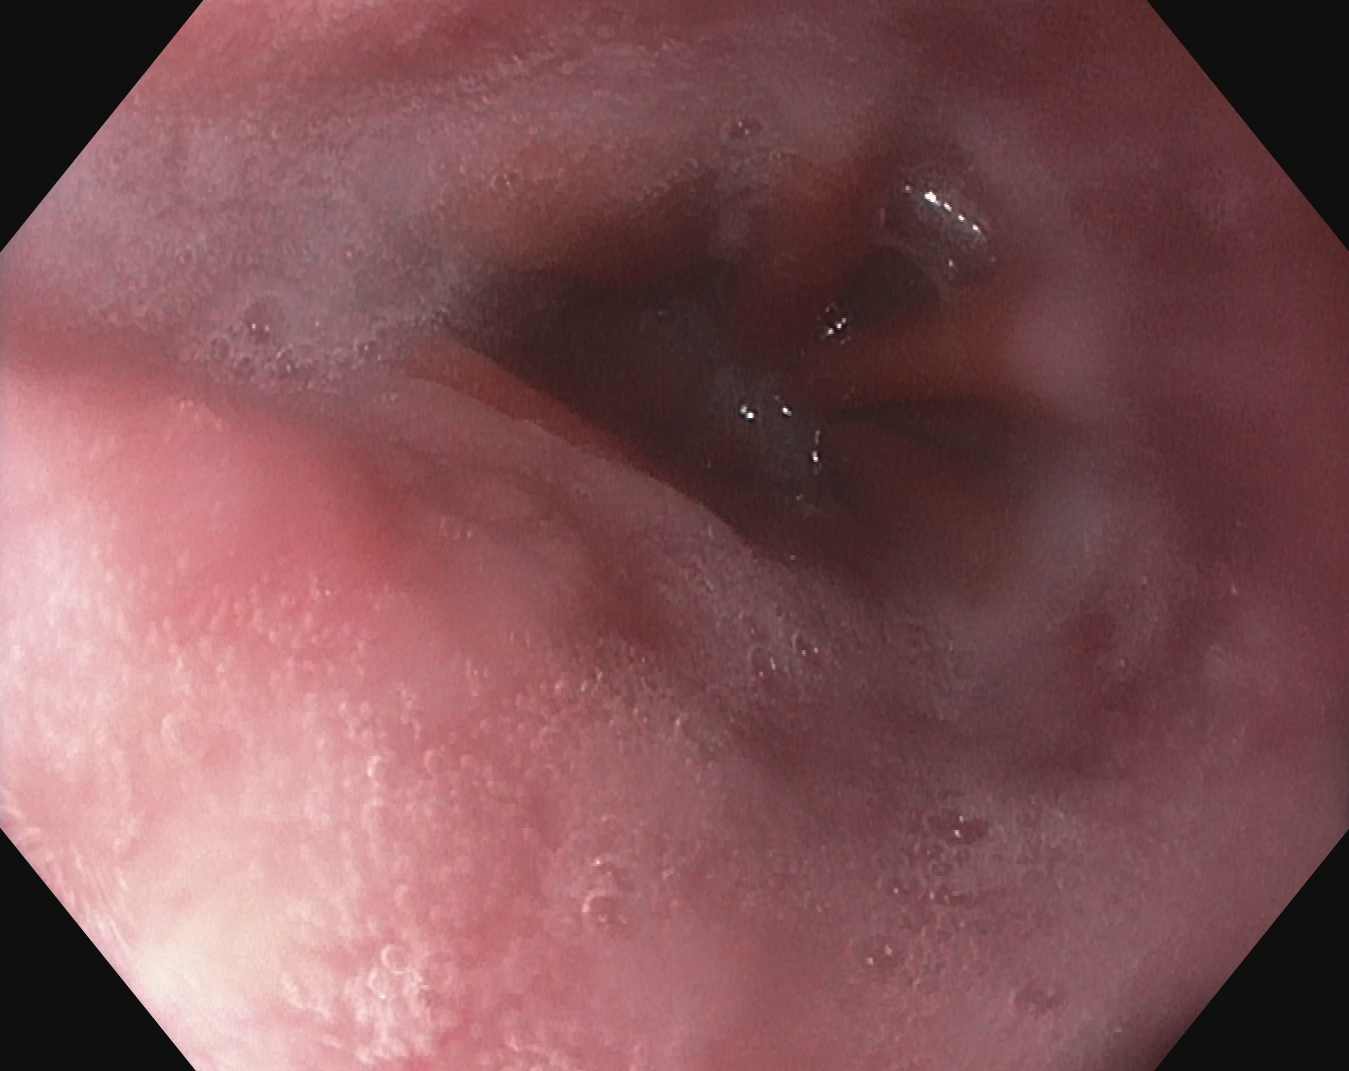{"modality": "gastroscopy", "finding": "Z-line (gastroesophageal junction)"}